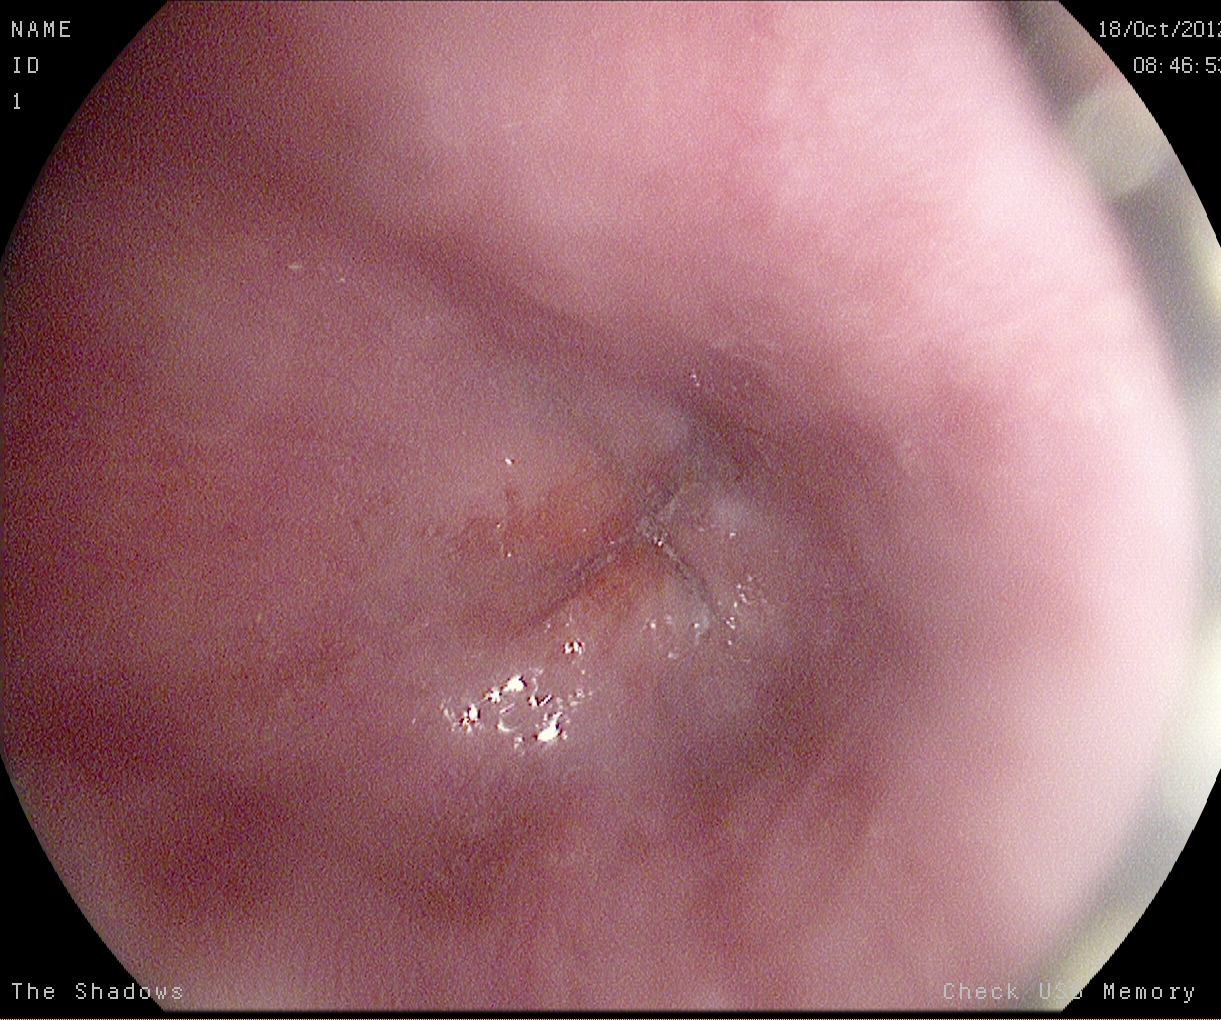Z-line (gastroesophageal junction).